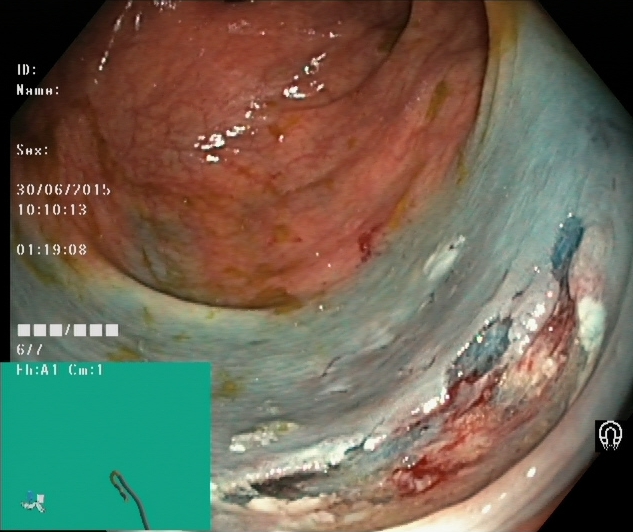Dyed resection margins (post-polypectomy).